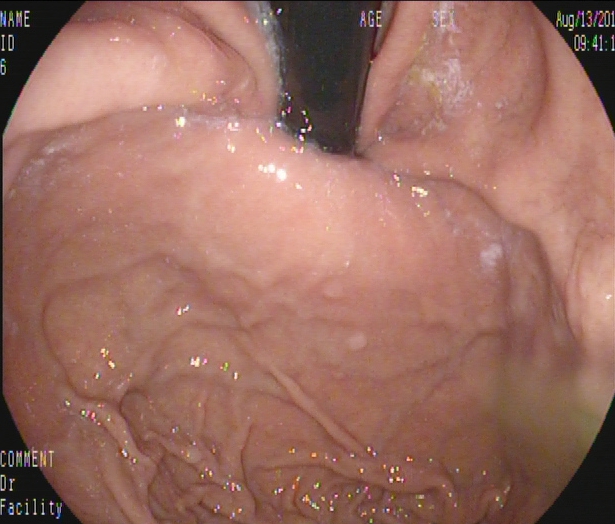Stomach in retroflexion.